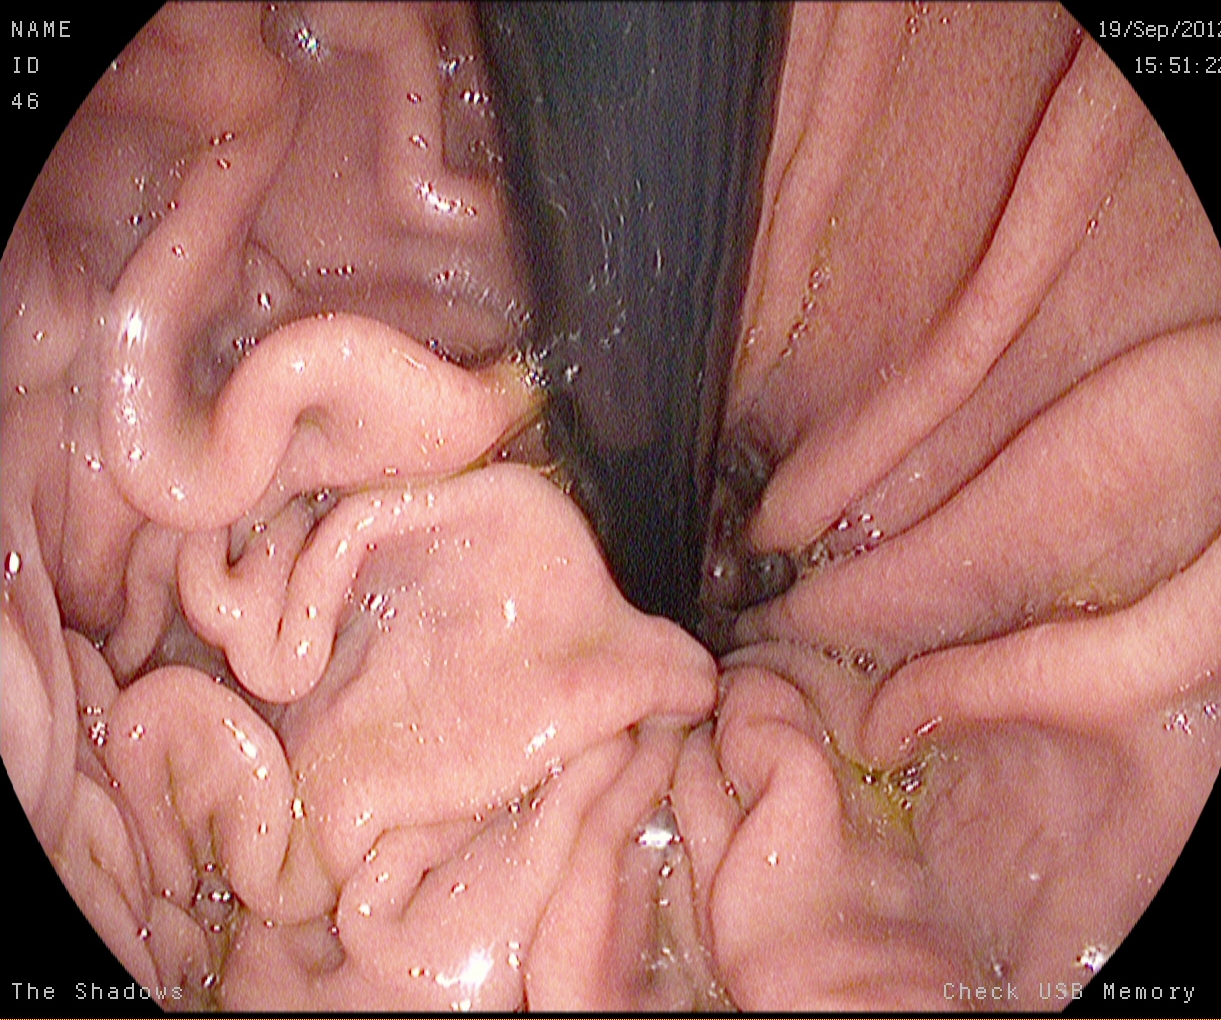{"modality": "EGD", "tract": "upper GI tract", "category": "anatomical landmark", "finding": "stomach in retroflexion"}